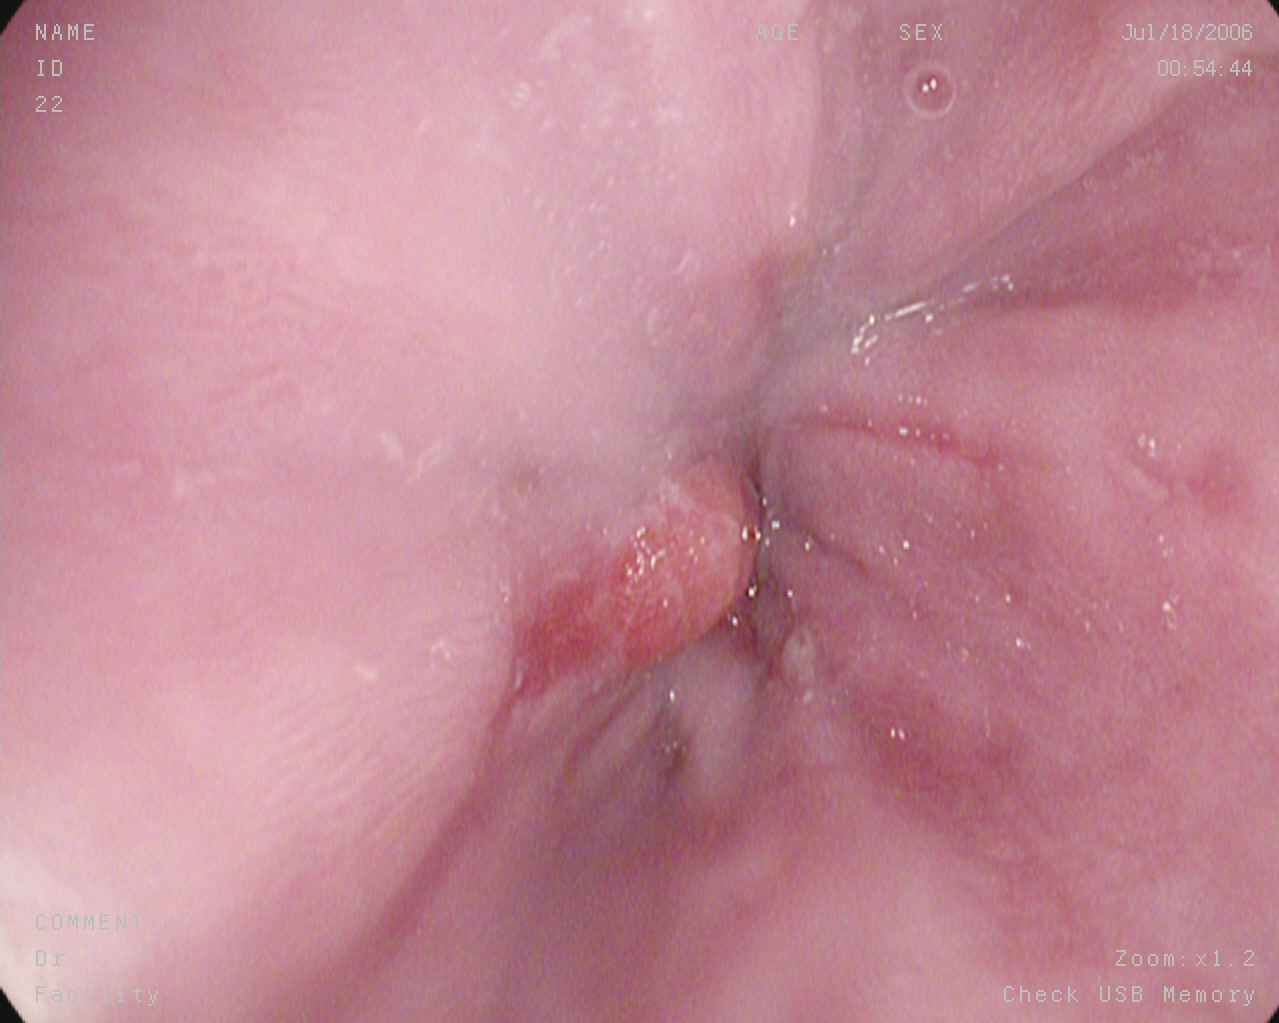Reflux esophagitis, LA grade A.